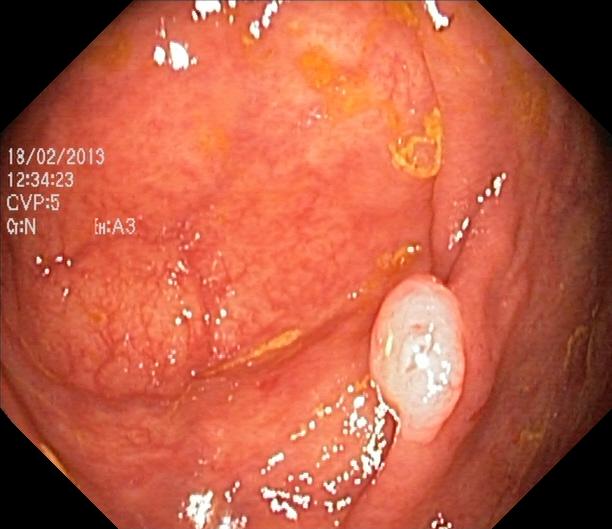Colorectal polyp(s).